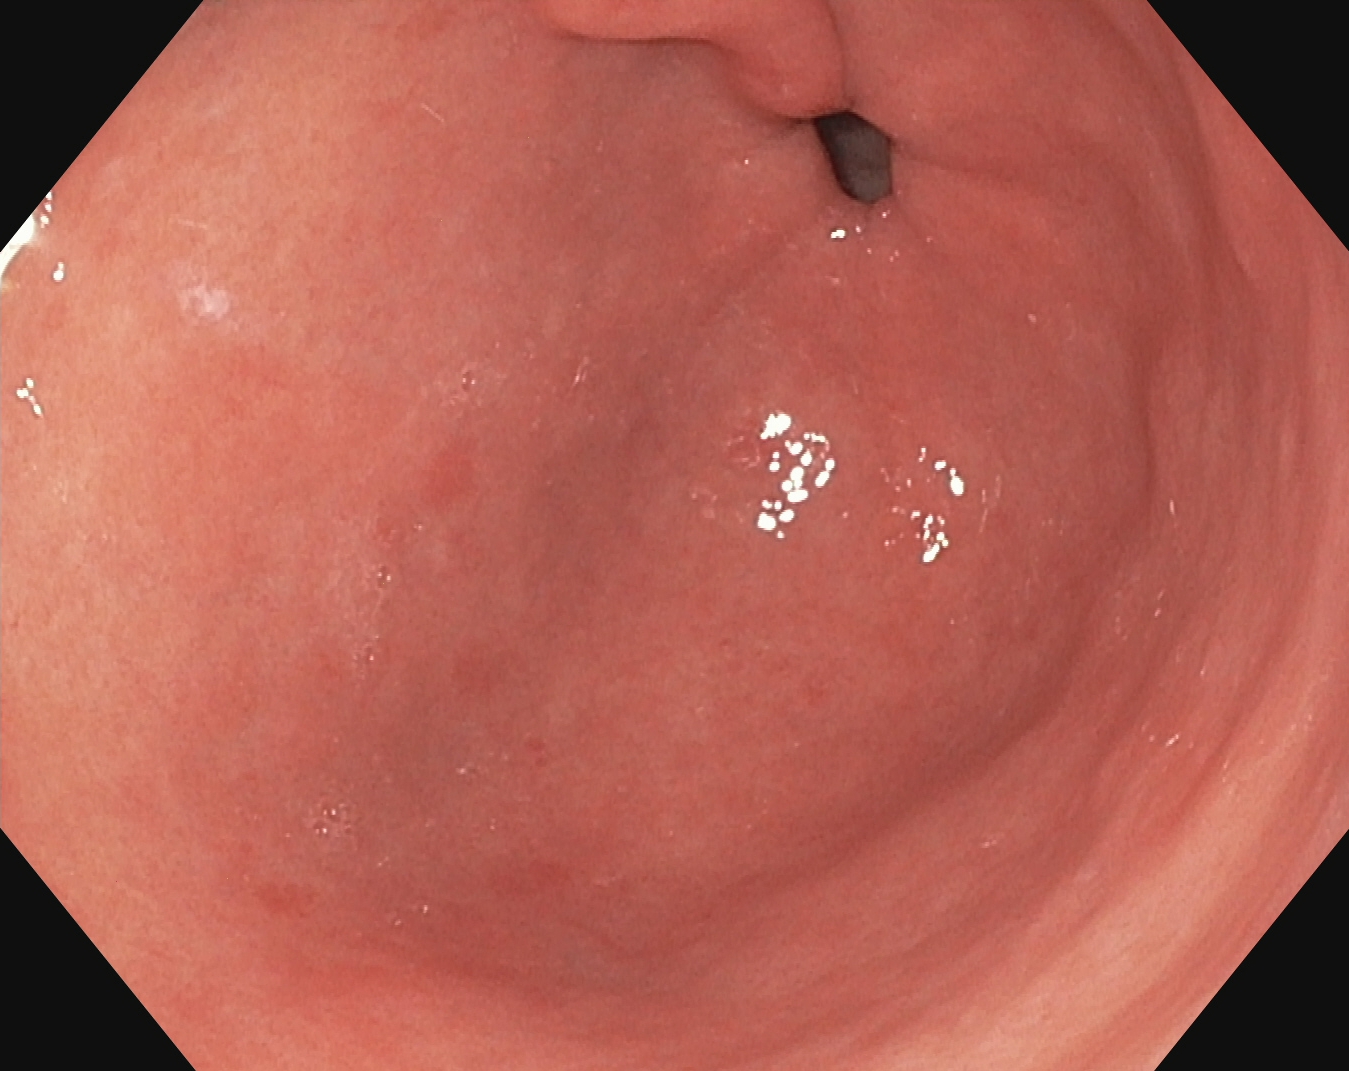{"modality": "upper-GI endoscopy", "tract": "upper GI tract", "category": "anatomical landmark", "finding": "pylorus"}